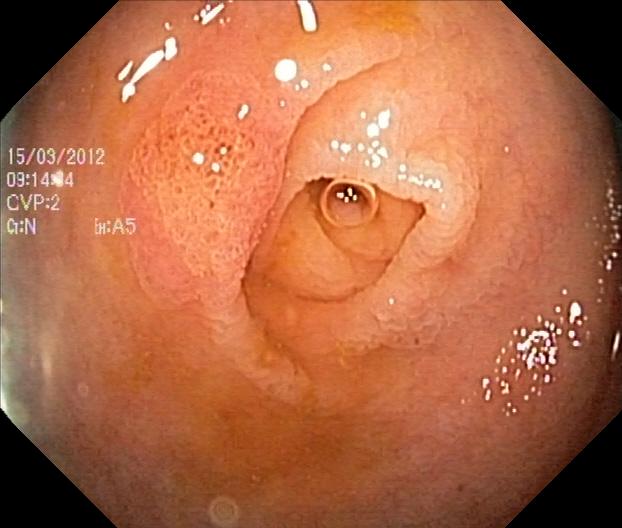{"modality": "lower gastrointestinal endoscopy", "tract": "lower GI tract", "finding": "colorectal polyp(s)"}